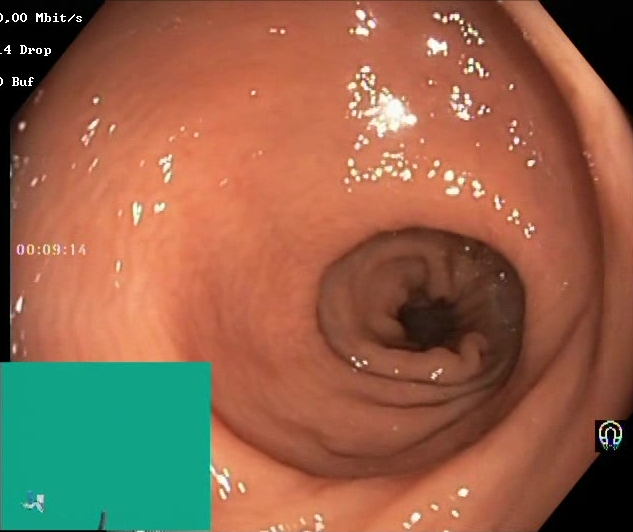Boston Bowel Preparation Scale score 2–3 (adequate preparation).